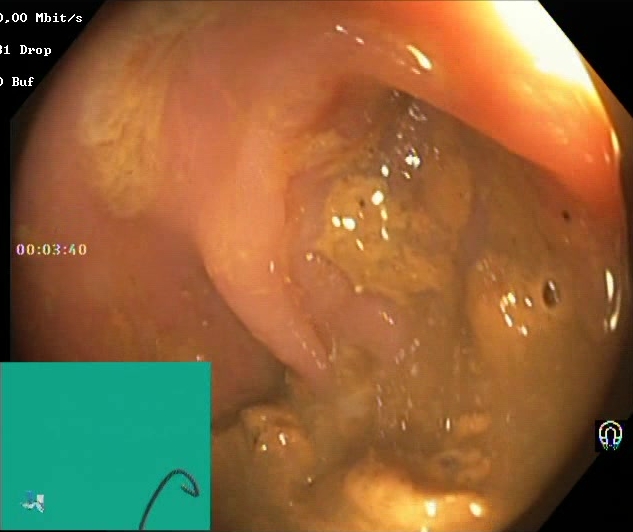Endoscopic frame of the lower GI tract showing Boston Bowel Preparation Scale score 0–1 (inadequate preparation).